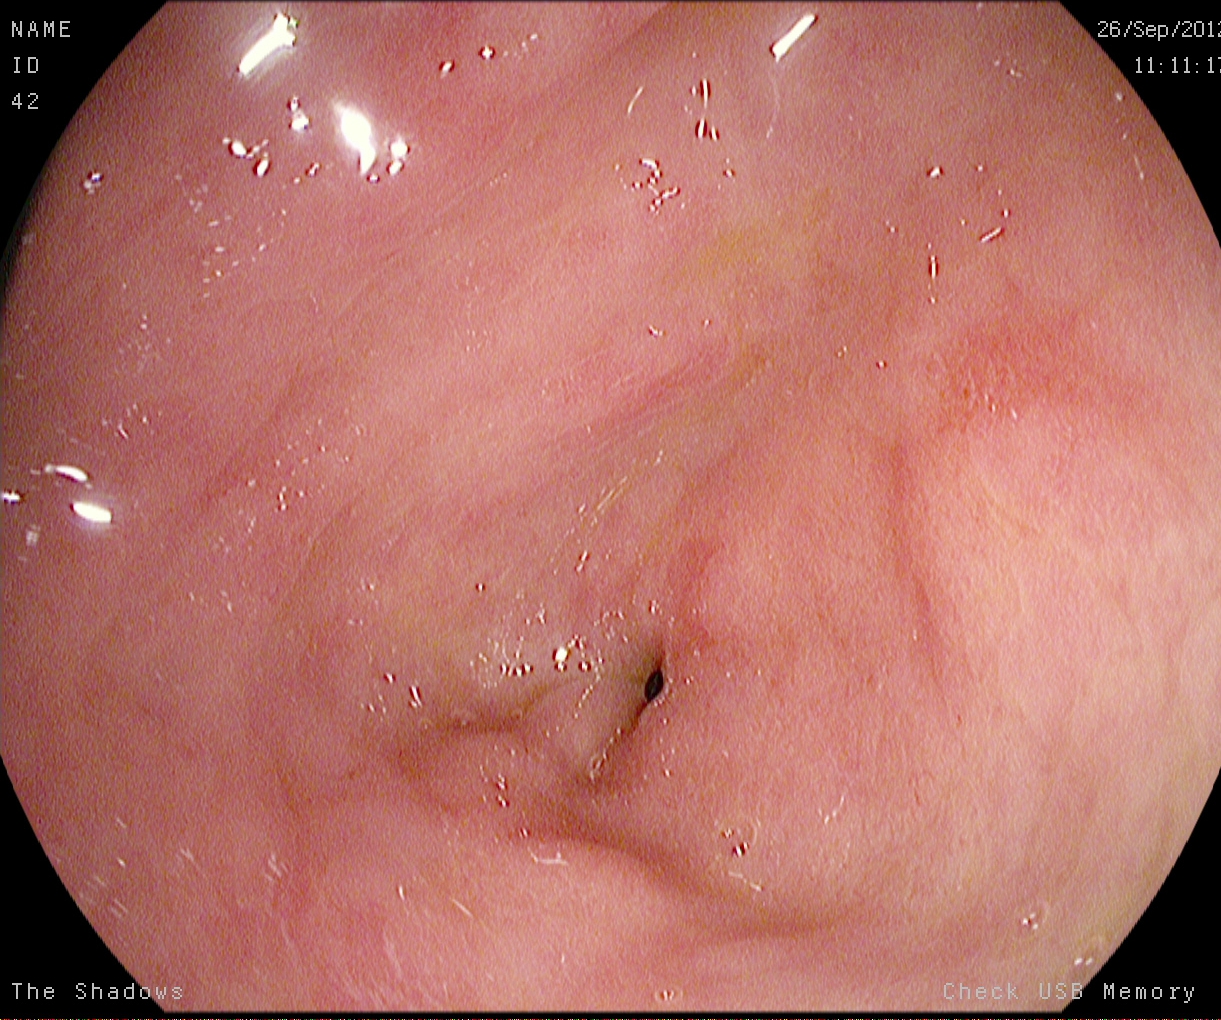modality: gastroscopy; tract: upper GI tract; finding: pylorus